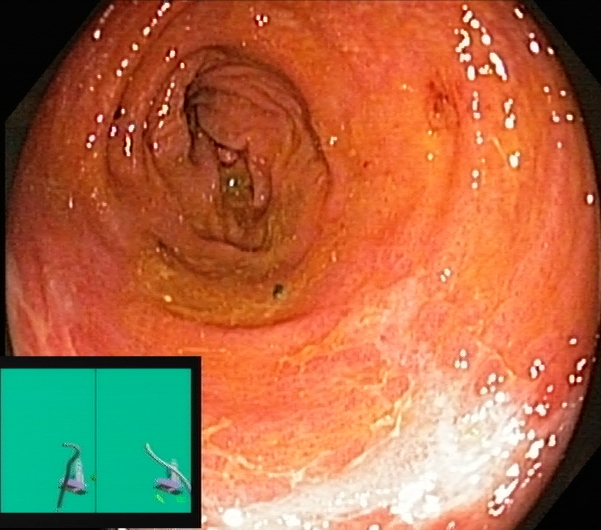modality: lower gastrointestinal endoscopy | finding: ulcerative colitis, Mayo endoscopic subscore 2